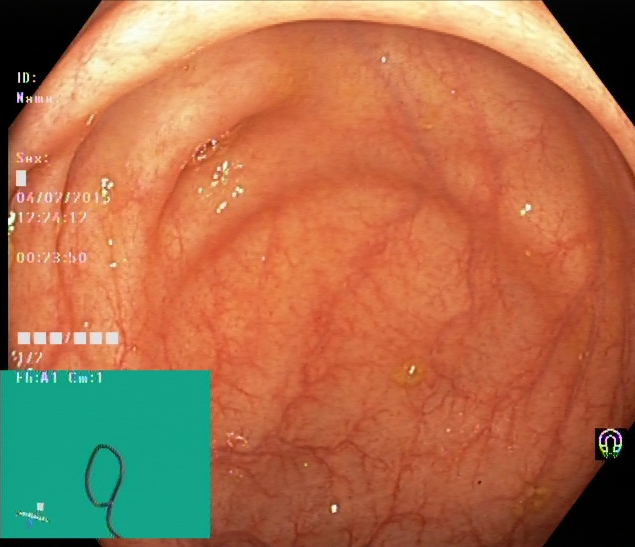{"modality": "colonoscopy", "category": "anatomical landmark", "finding": "cecum"}